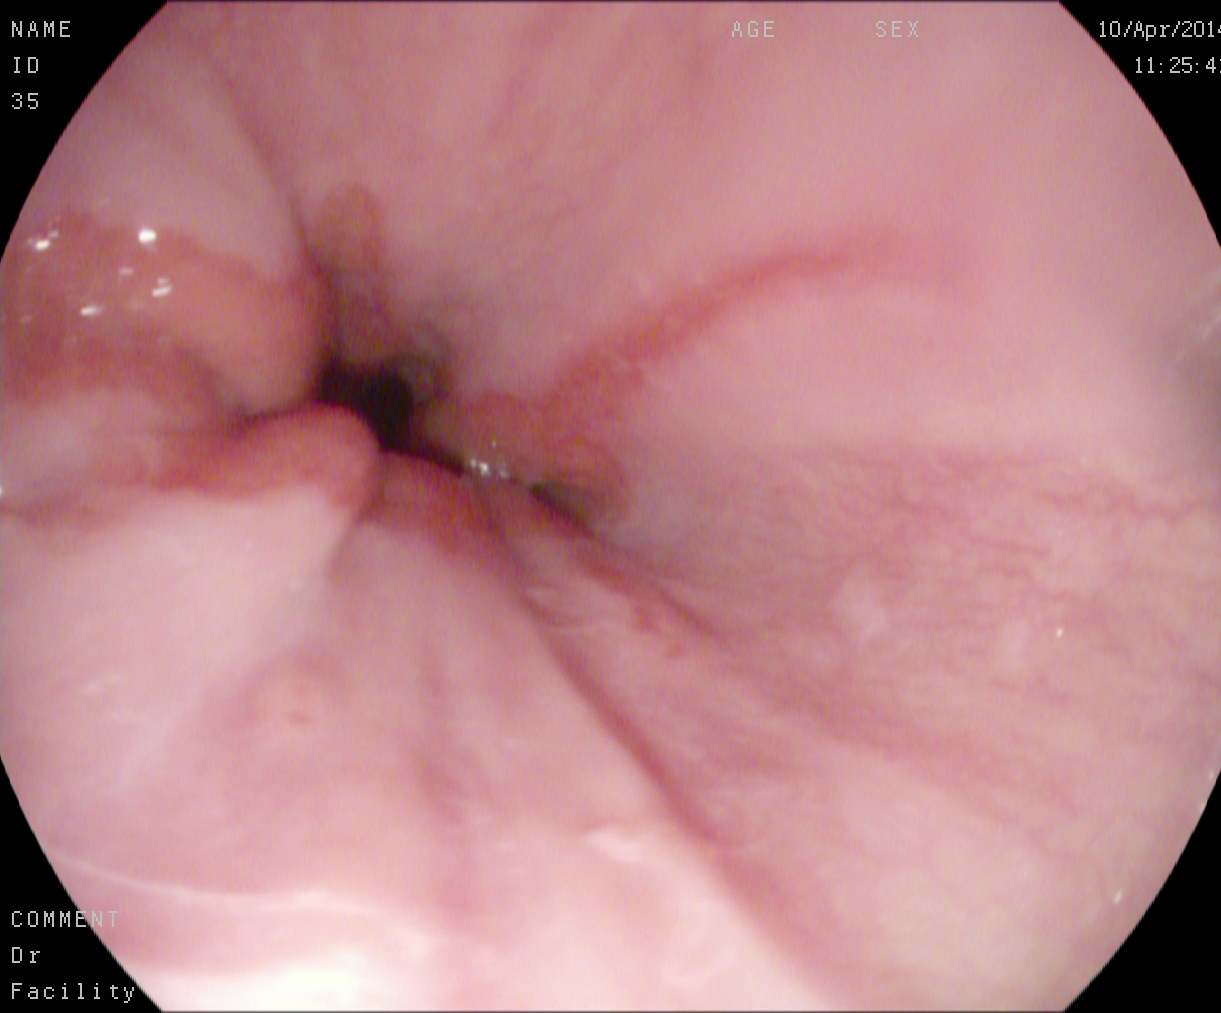modality: esophagogastroduodenoscopy | category: pathological finding | finding: reflux esophagitis, LA grade A